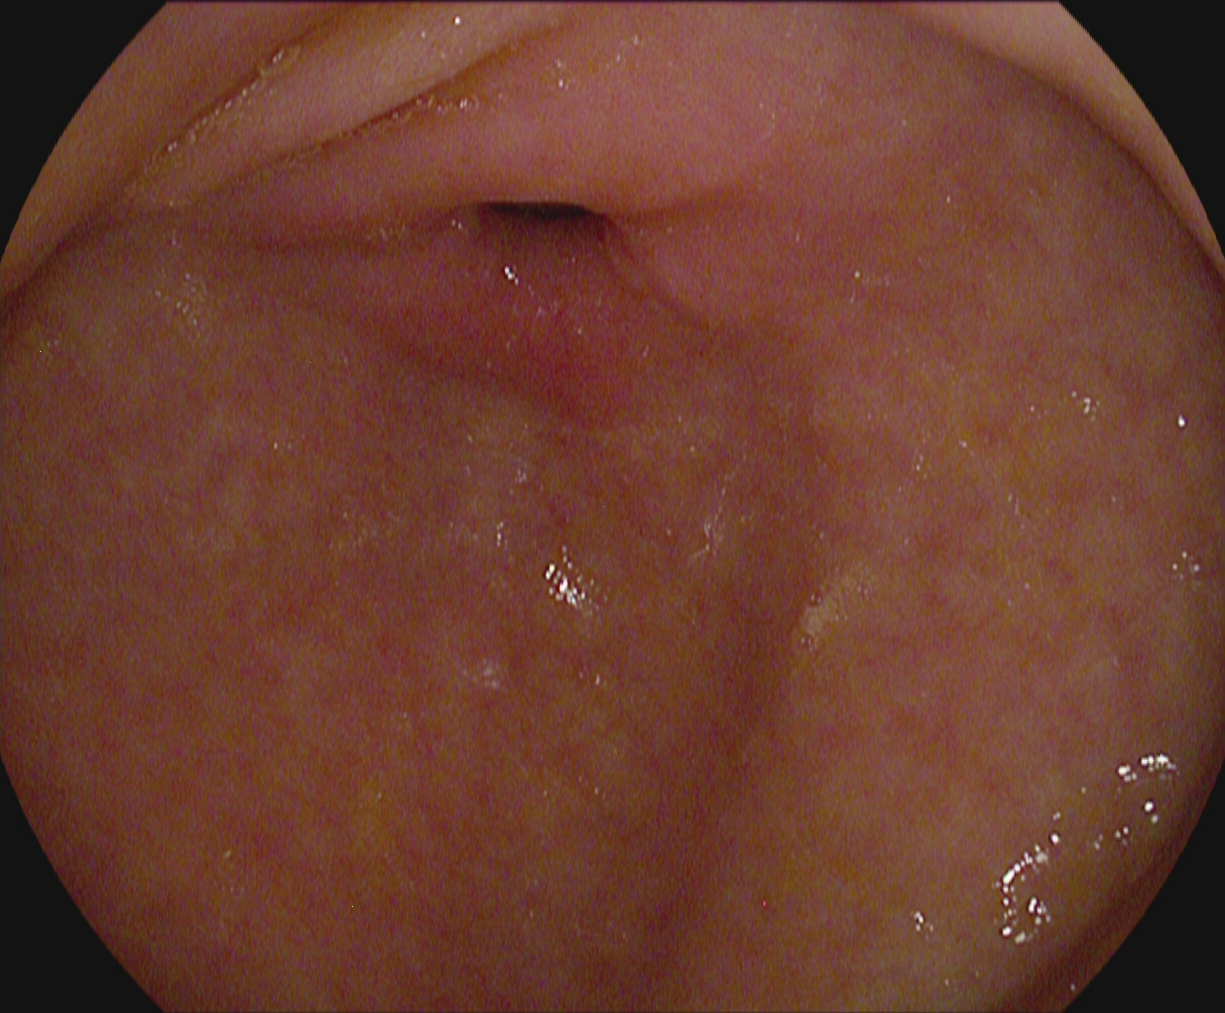Pylorus.